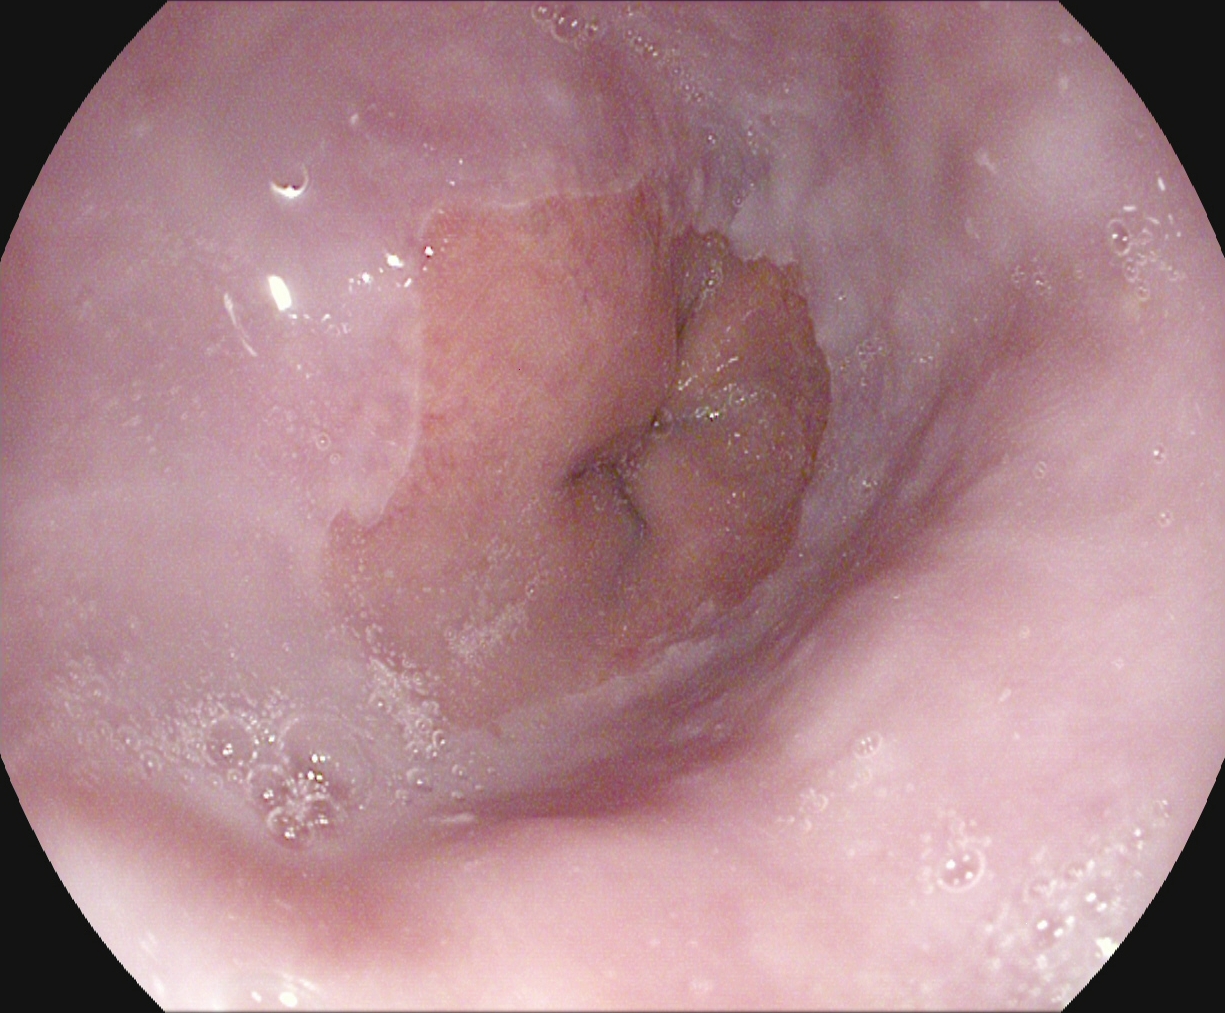EGD — Z-line (gastroesophageal junction).